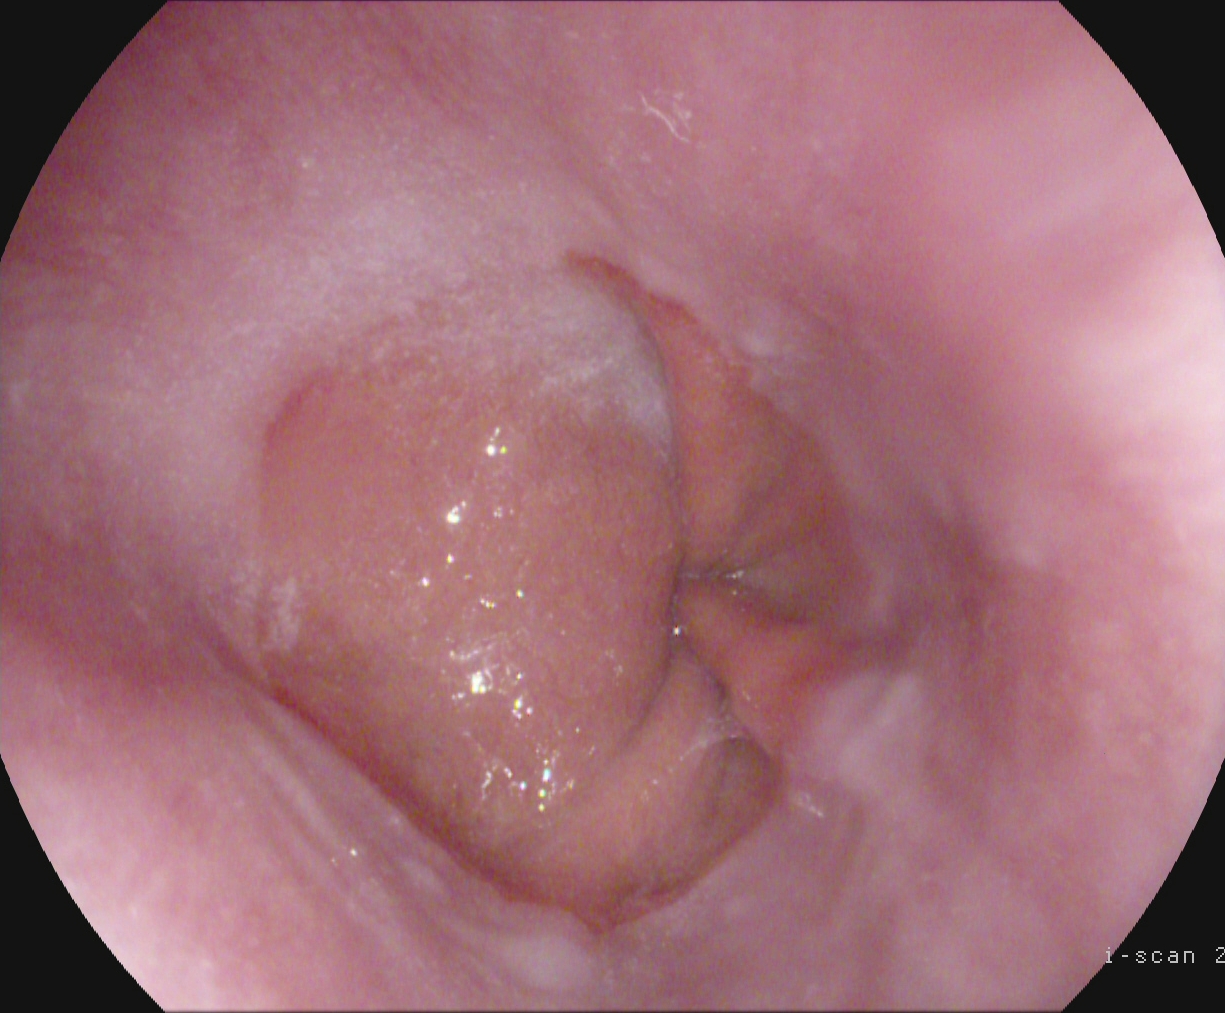modality: EGD; tract: upper GI tract; category: anatomical landmark; finding: Z-line (gastroesophageal junction)